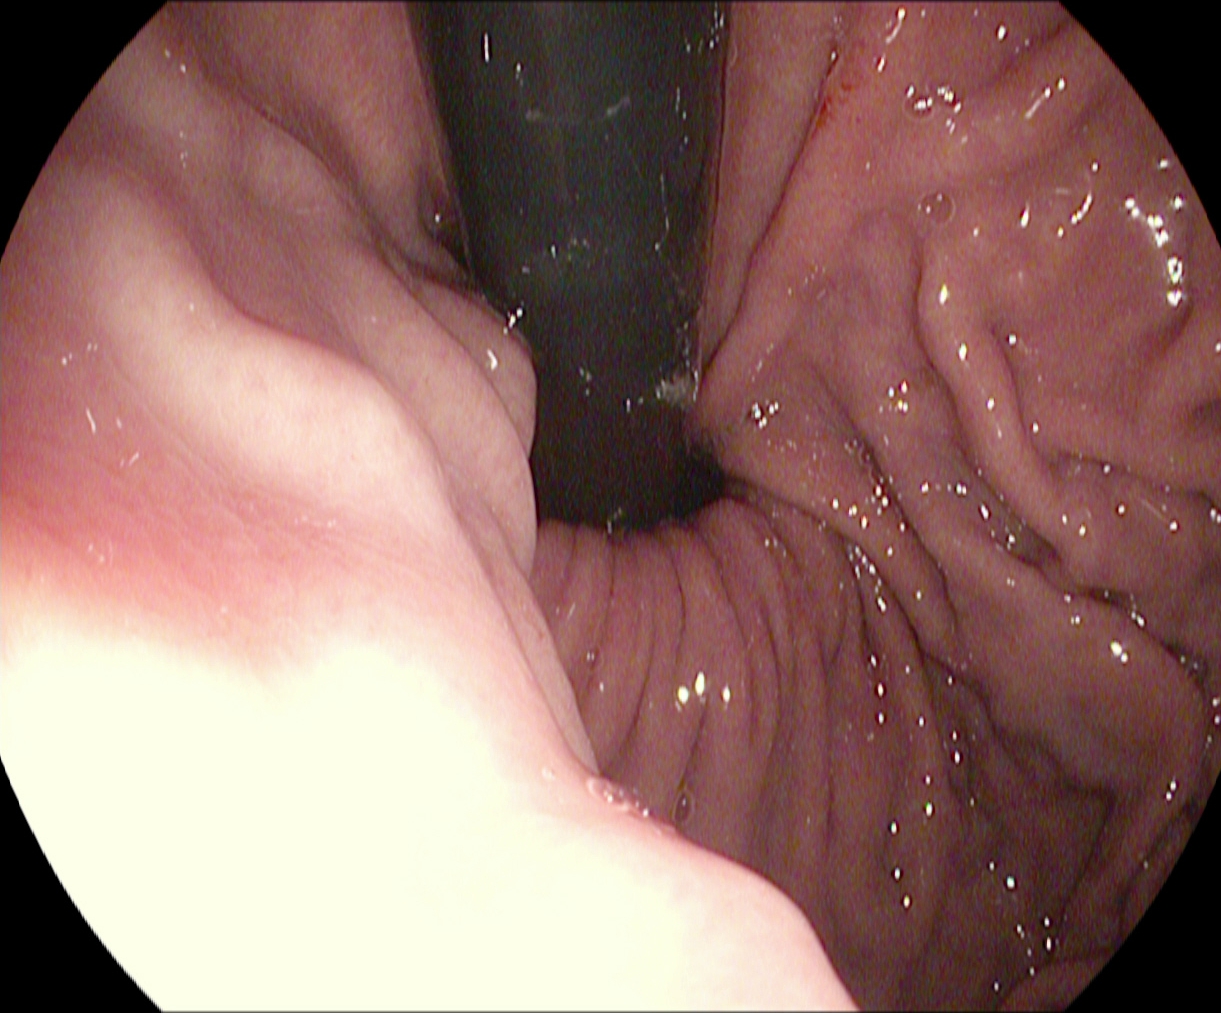modality: upper-GI endoscopy; finding: stomach in retroflexion